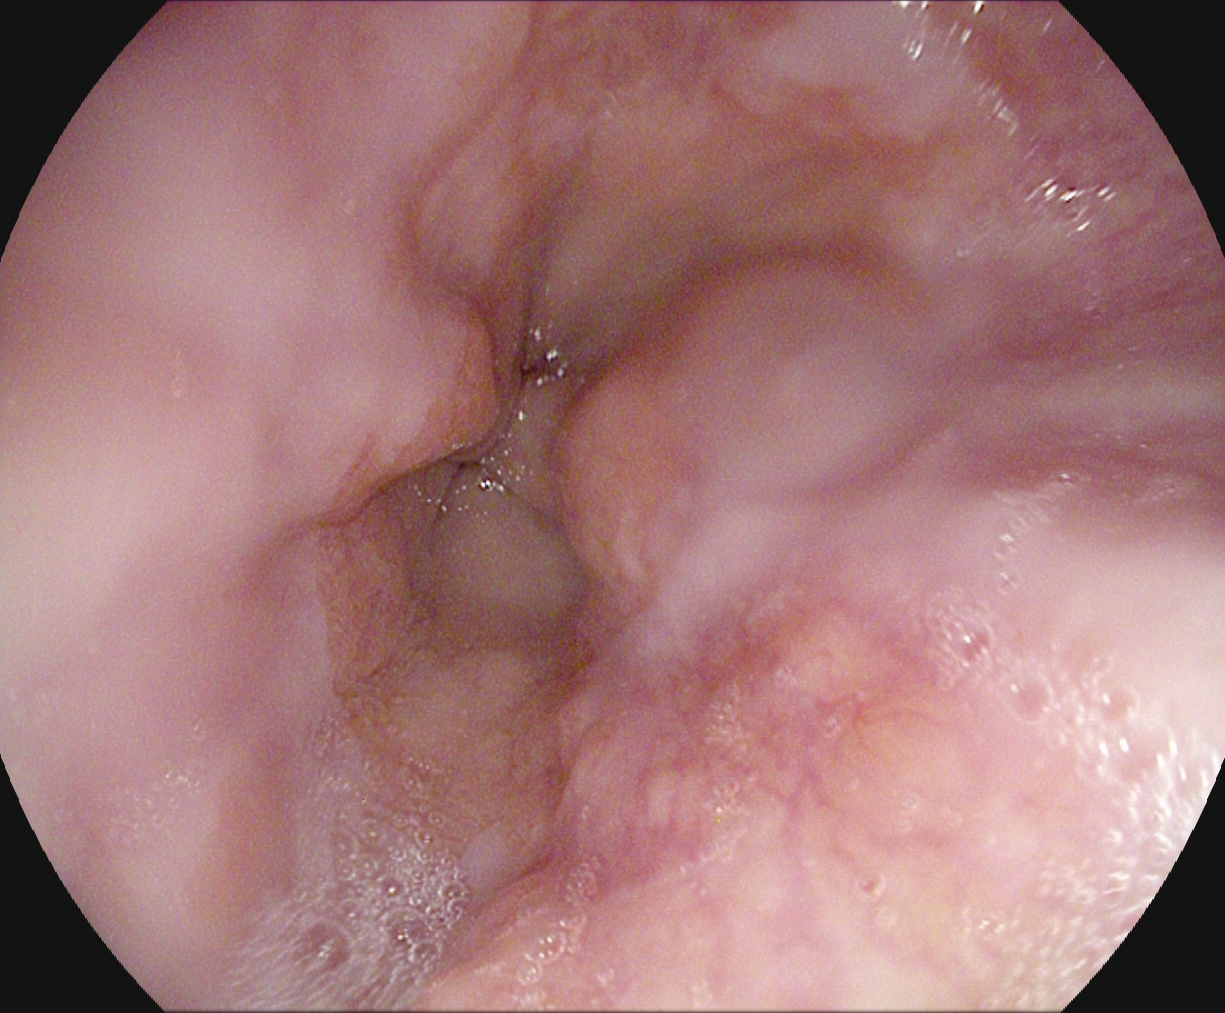{"modality": "esophagogastroduodenoscopy", "finding": "Z-line (gastroesophageal junction)"}